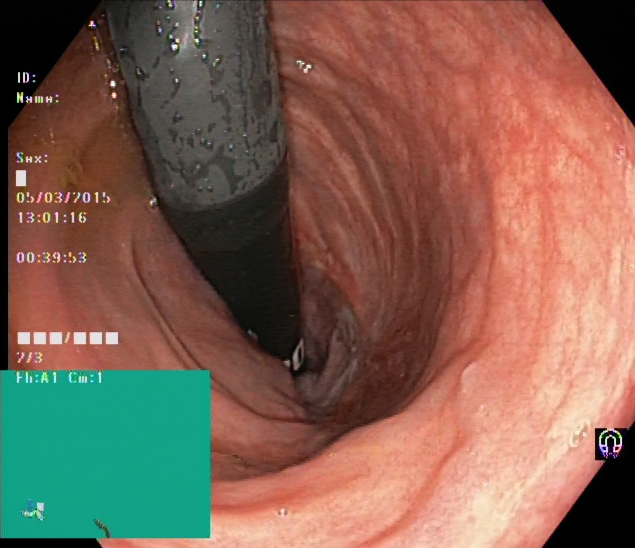This endoscopy frame of the lower GI tract shows rectum in retroflexion.